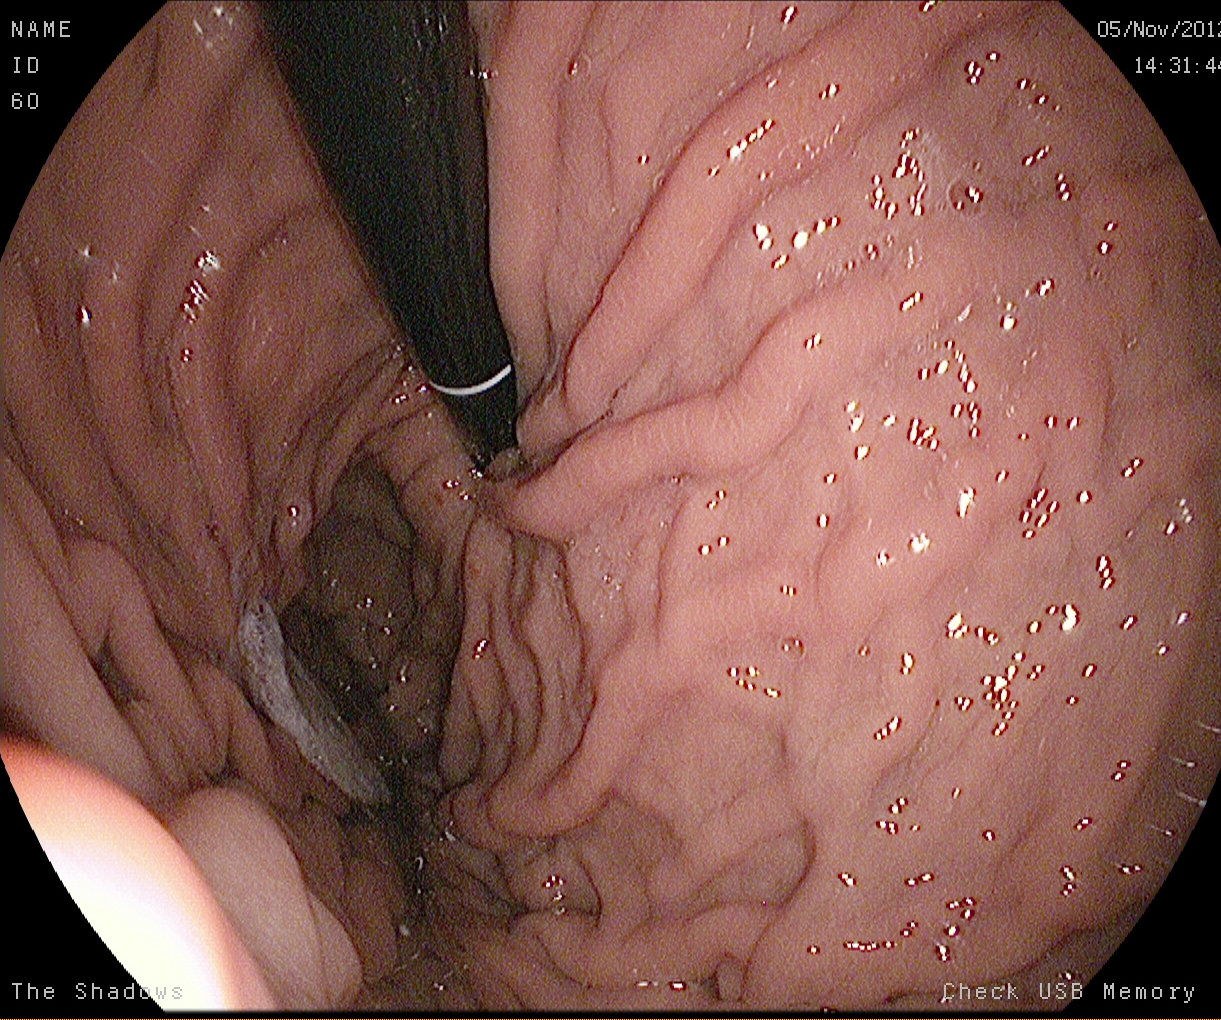stomach in retroflexion.